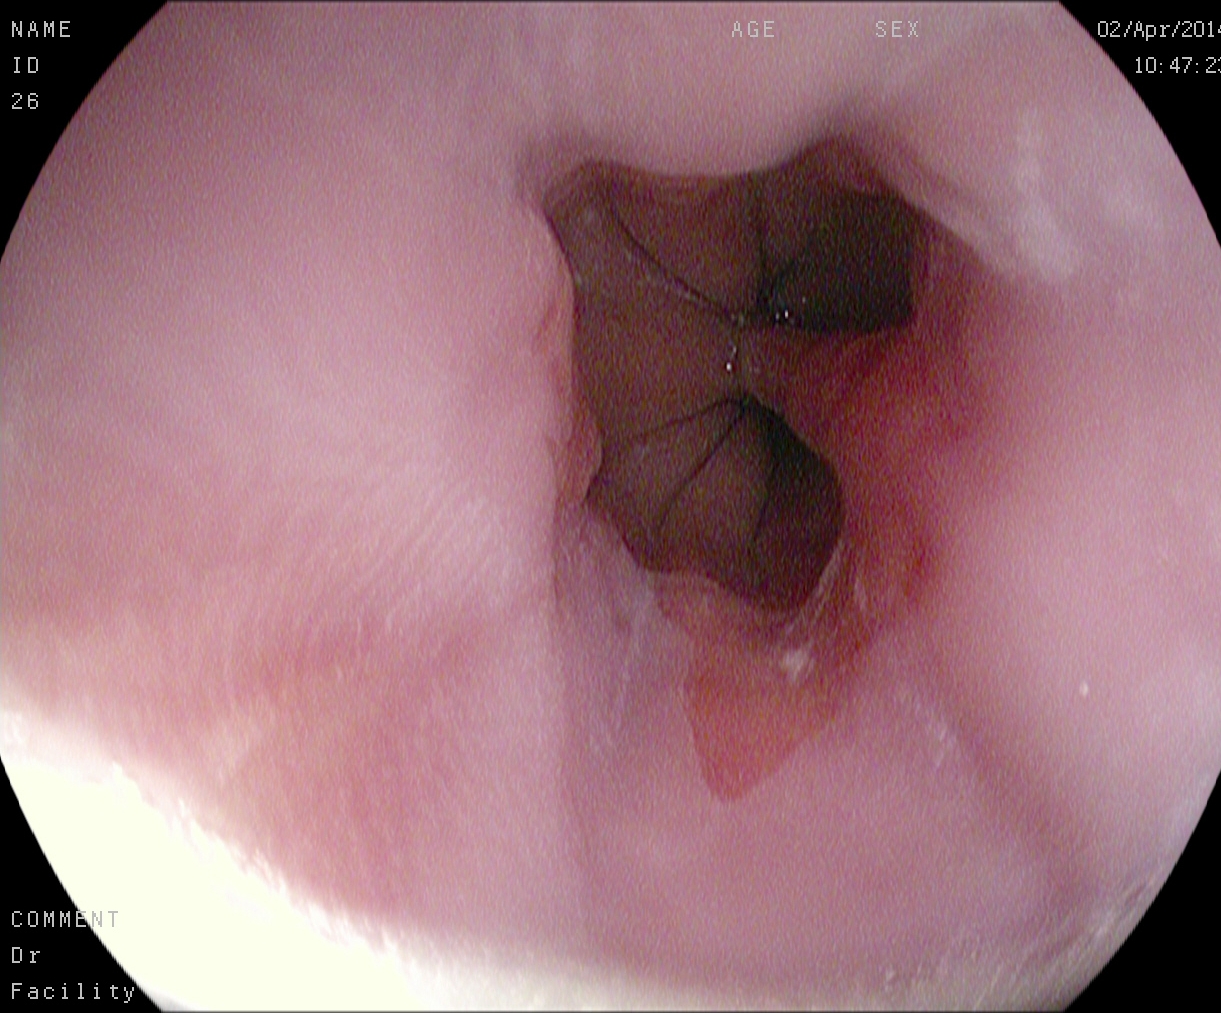{"modality": "EGD", "tract": "upper GI tract", "finding": "Barrett's esophagus, short segment"}